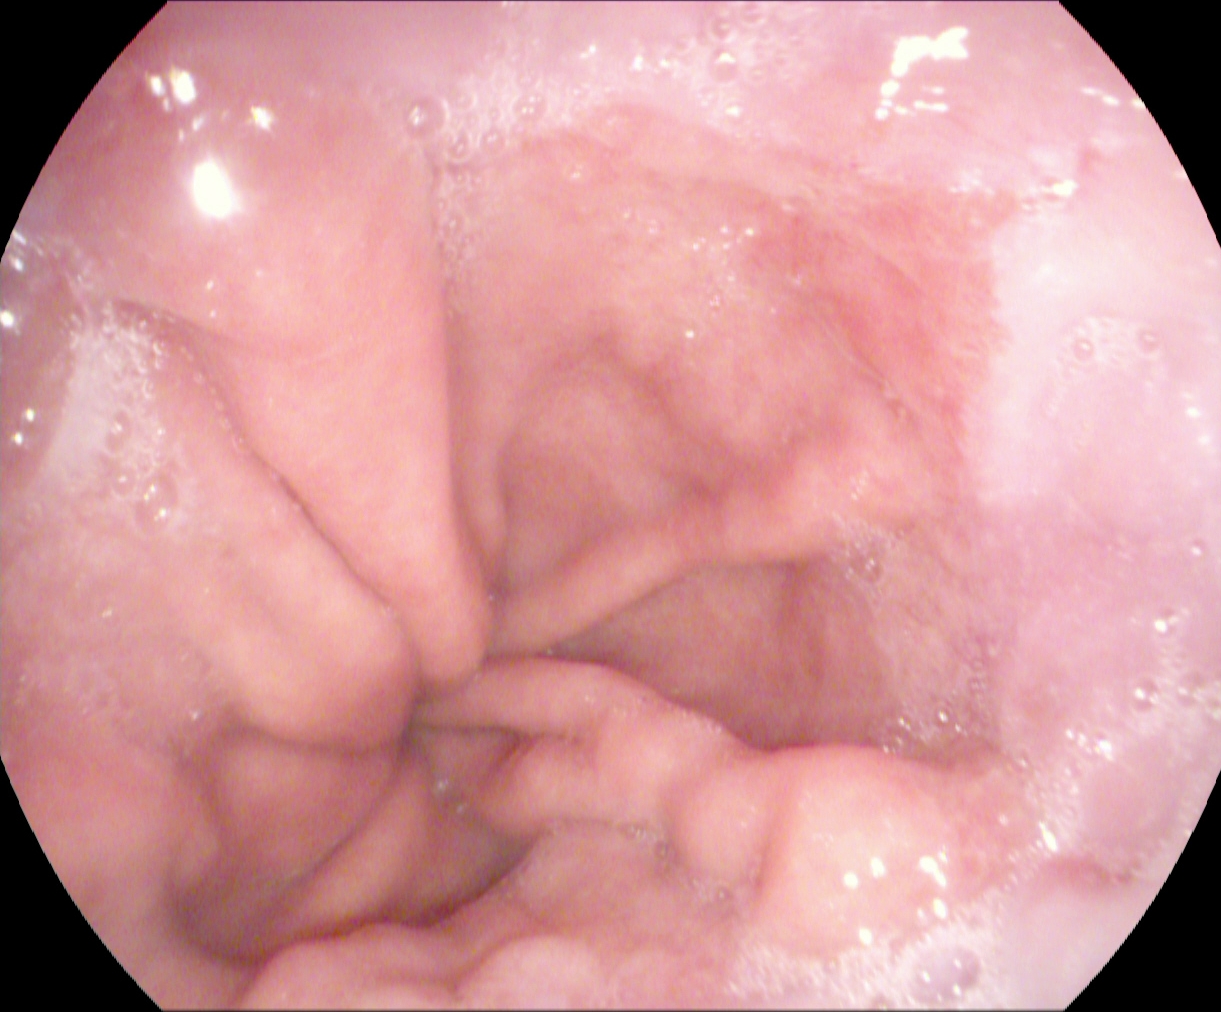Esophagogastroduodenoscopy. Tract: upper GI tract. Finding: reflux esophagitis, LA grade A.